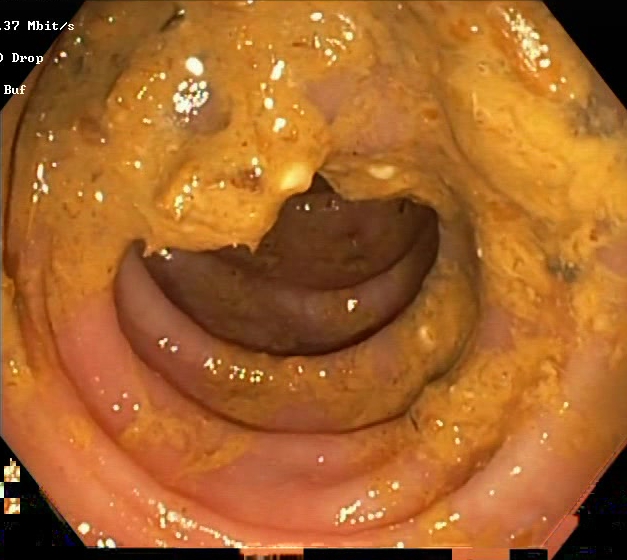Lower-GI endoscopy — Boston Bowel Preparation Scale score 0–1 (inadequate preparation).